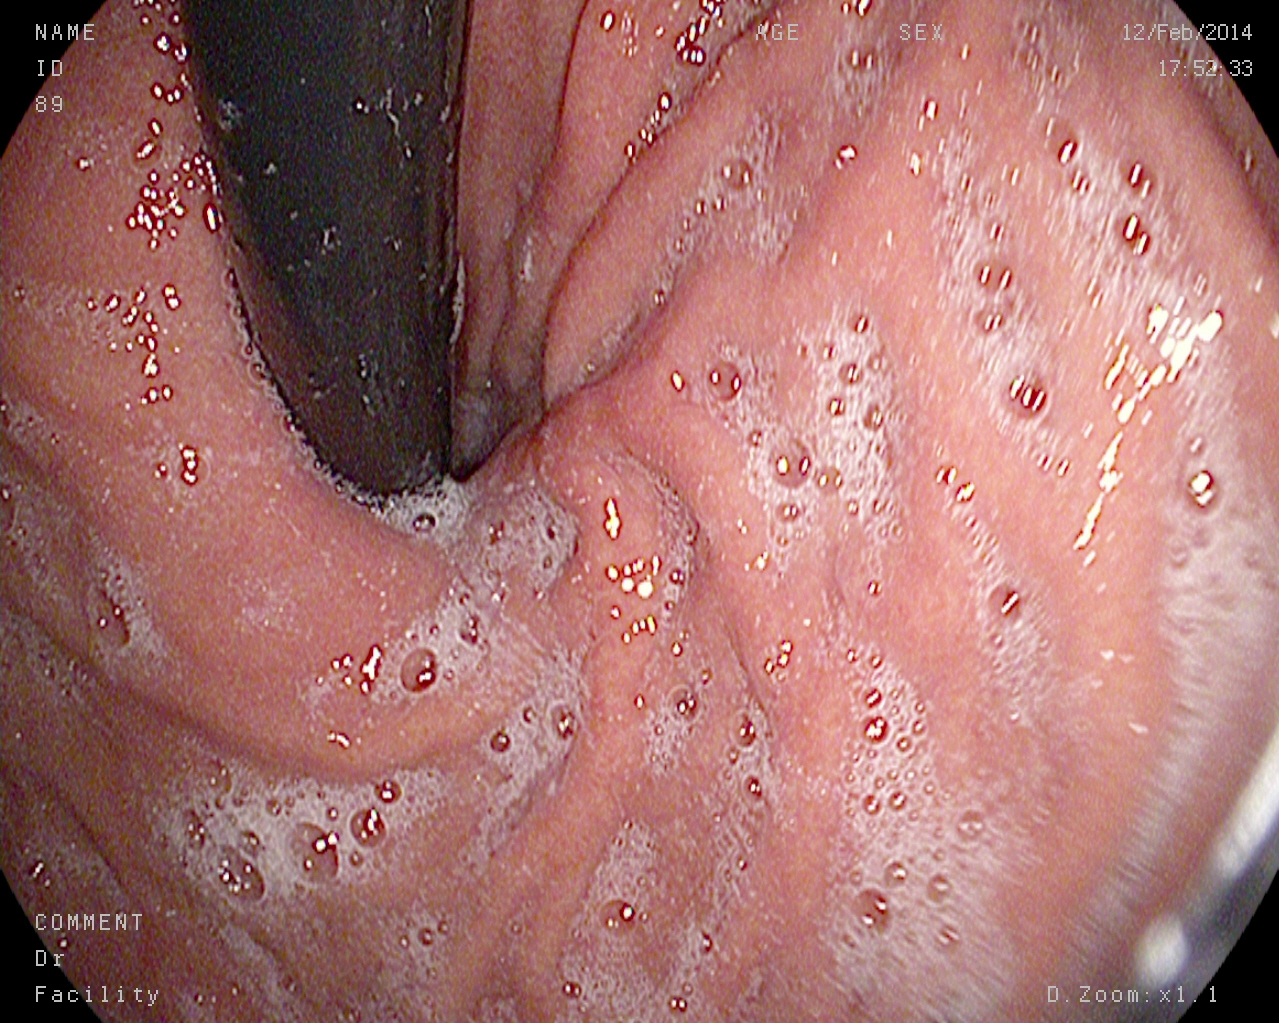modality: gastroscopy; tract: upper GI tract; category: anatomical landmark; finding: stomach in retroflexion